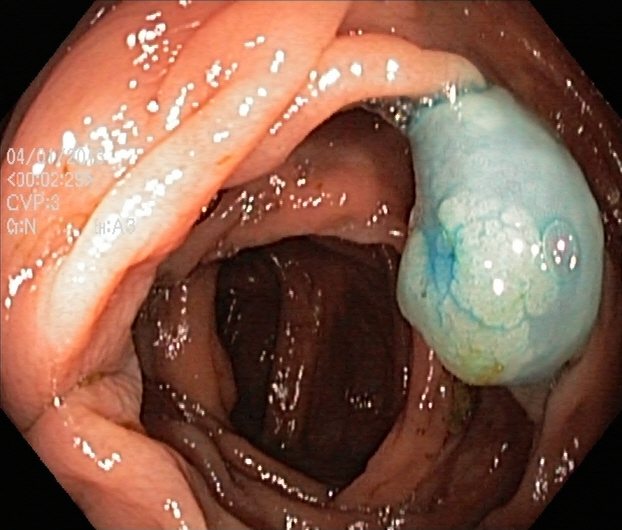Dyed and lifted polyp (pre-resection).